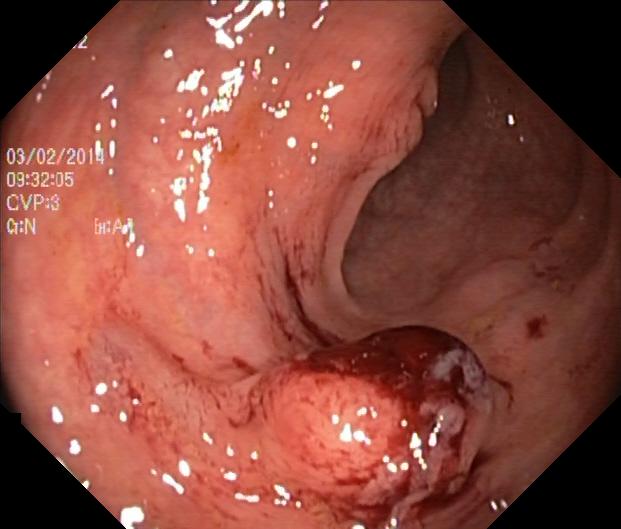{"modality": "lower-GI endoscopy", "category": "pathological finding", "finding": "colorectal polyp(s)"}